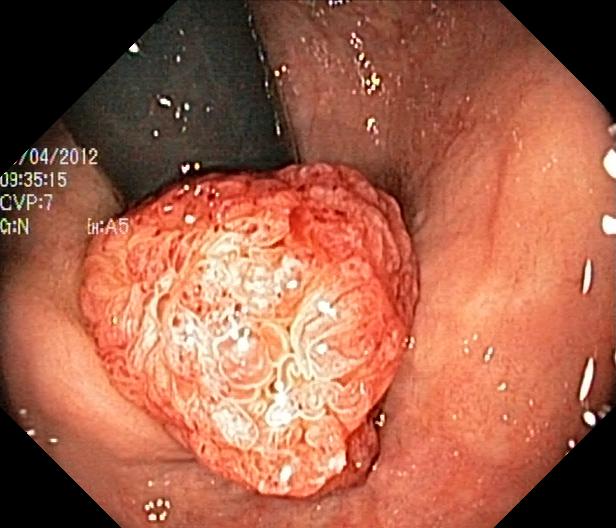PROCEDURE: Lower-GI endoscopy.
CATEGORY: Pathological finding.
FINDINGS: Colorectal polyp(s).